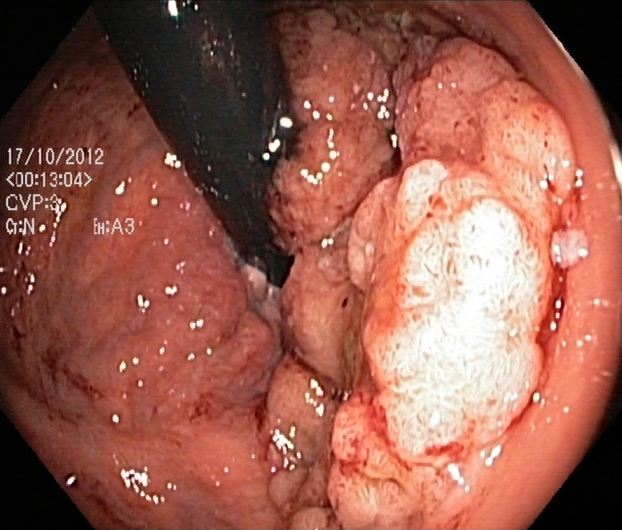modality: lower-GI endoscopy; finding: colorectal polyp(s)